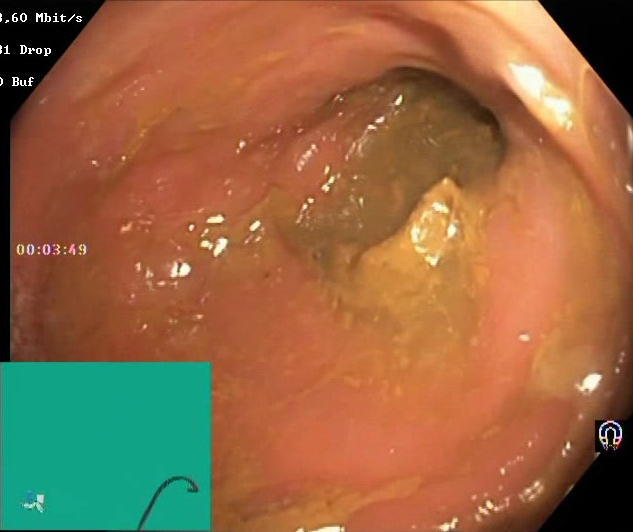Lower gastrointestinal endoscopy. Tract: lower GI tract. Mucosal-view quality. Finding: BBPS score 0–1 (inadequate preparation).